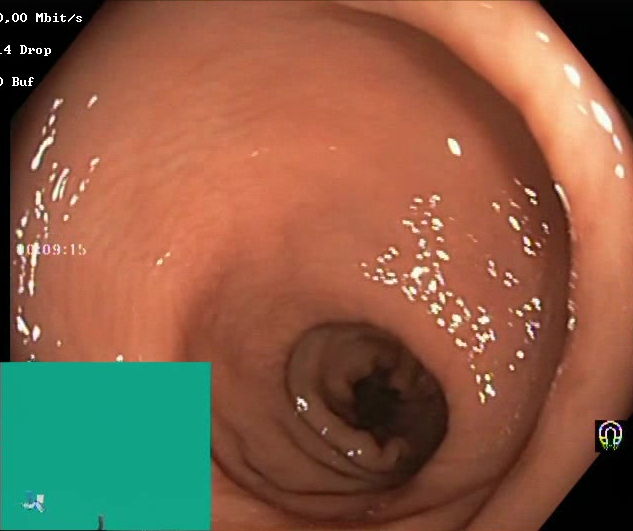This endoscopy frame shows Boston Bowel Preparation Scale score 2–3 (adequate preparation).